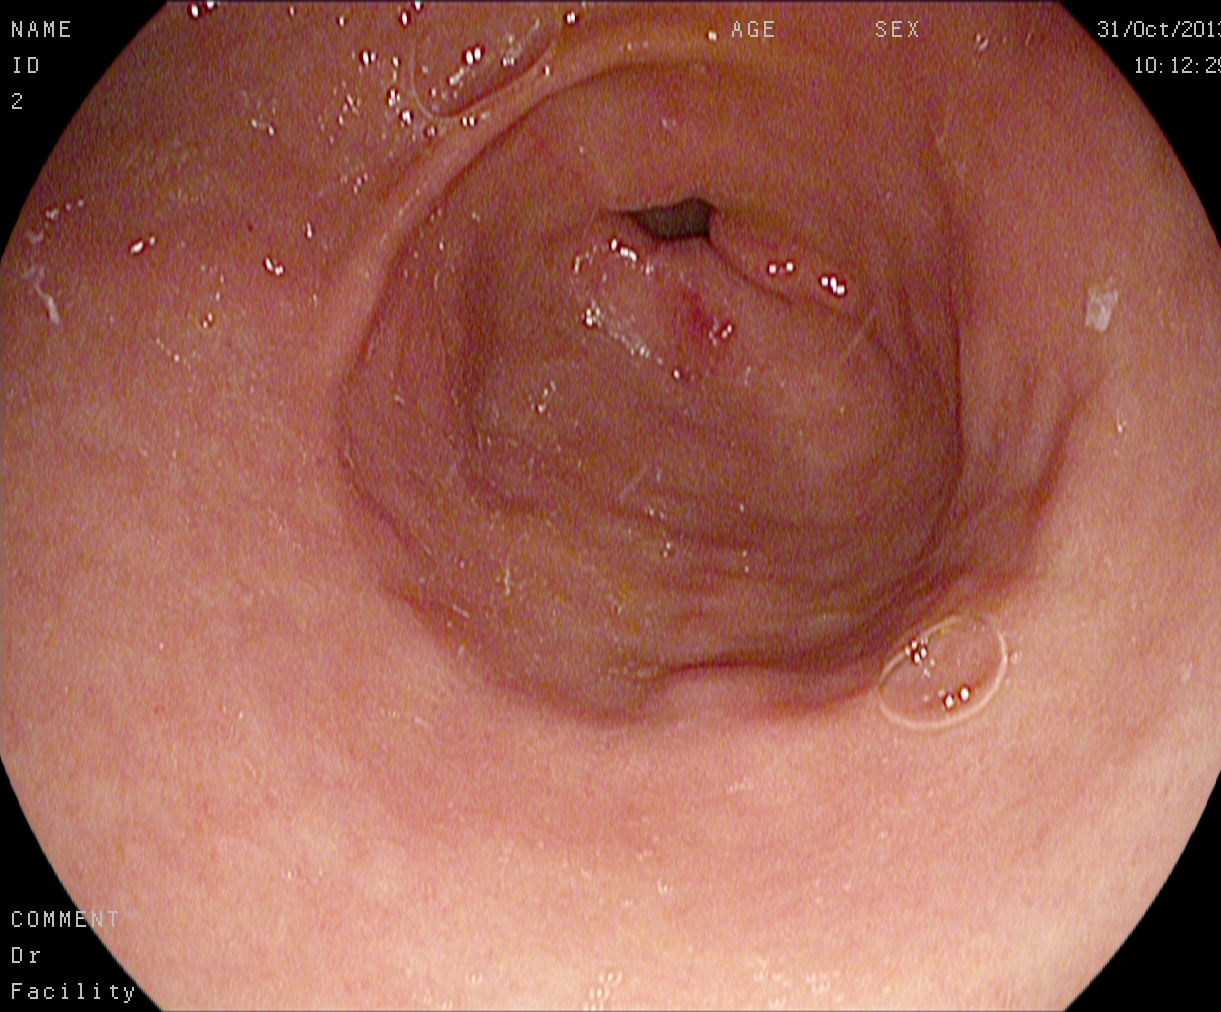EGD. Tract: upper GI tract. Finding: pylorus.